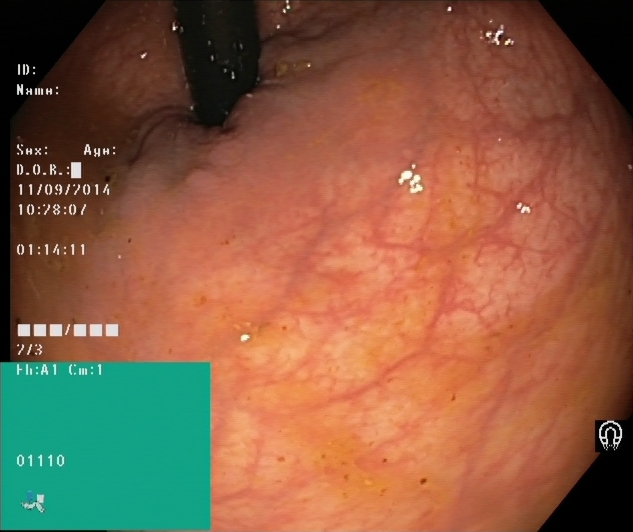This endoscopic image shows rectum in retroflexion.